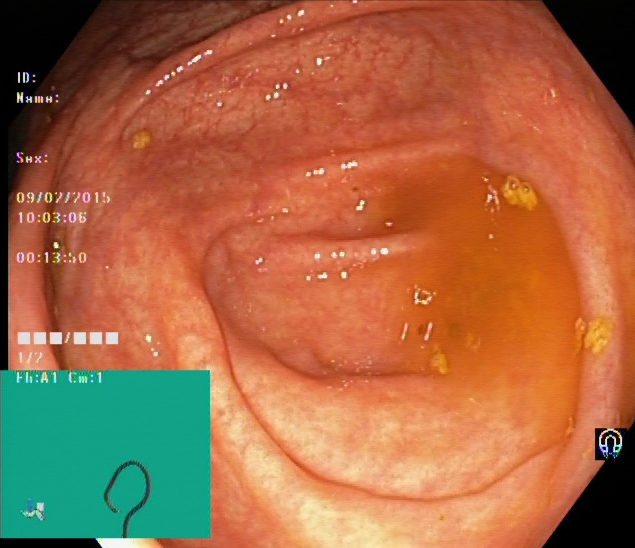Colonoscopy — cecum.